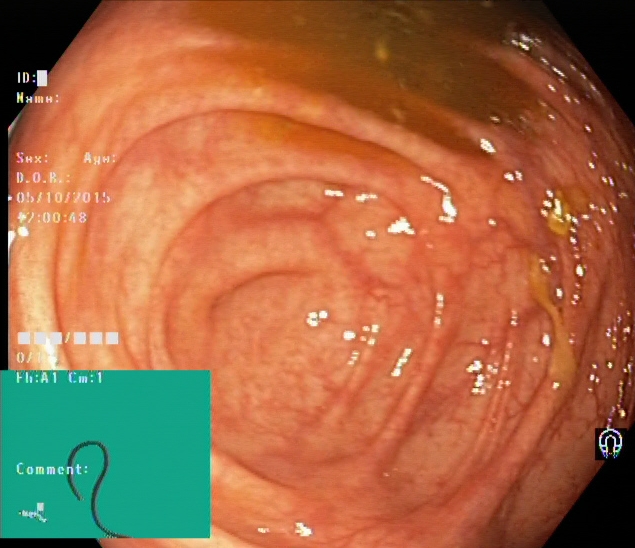modality: lower gastrointestinal endoscopy
finding: cecum